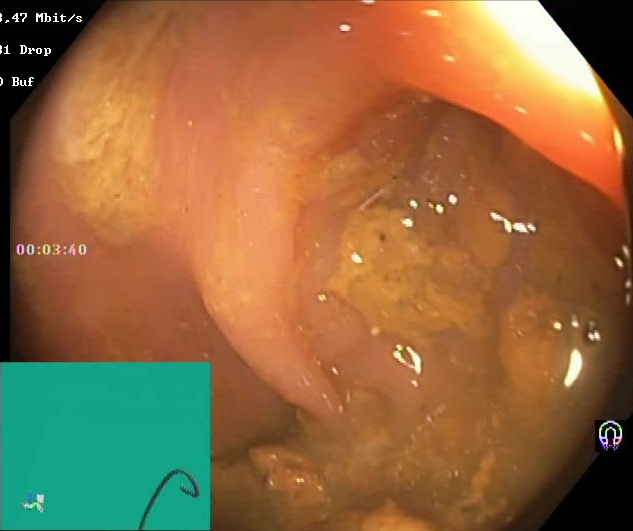{"modality": "lower-GI endoscopy", "finding": "Boston Bowel Preparation Scale score 0\u20131 (inadequate preparation)"}